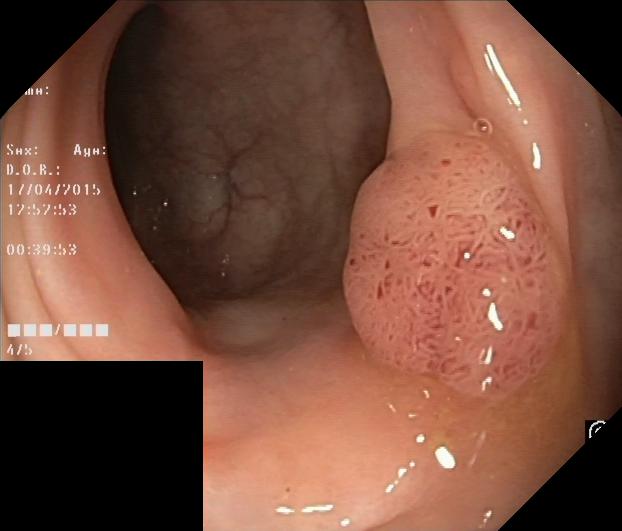colorectal polyp(s).